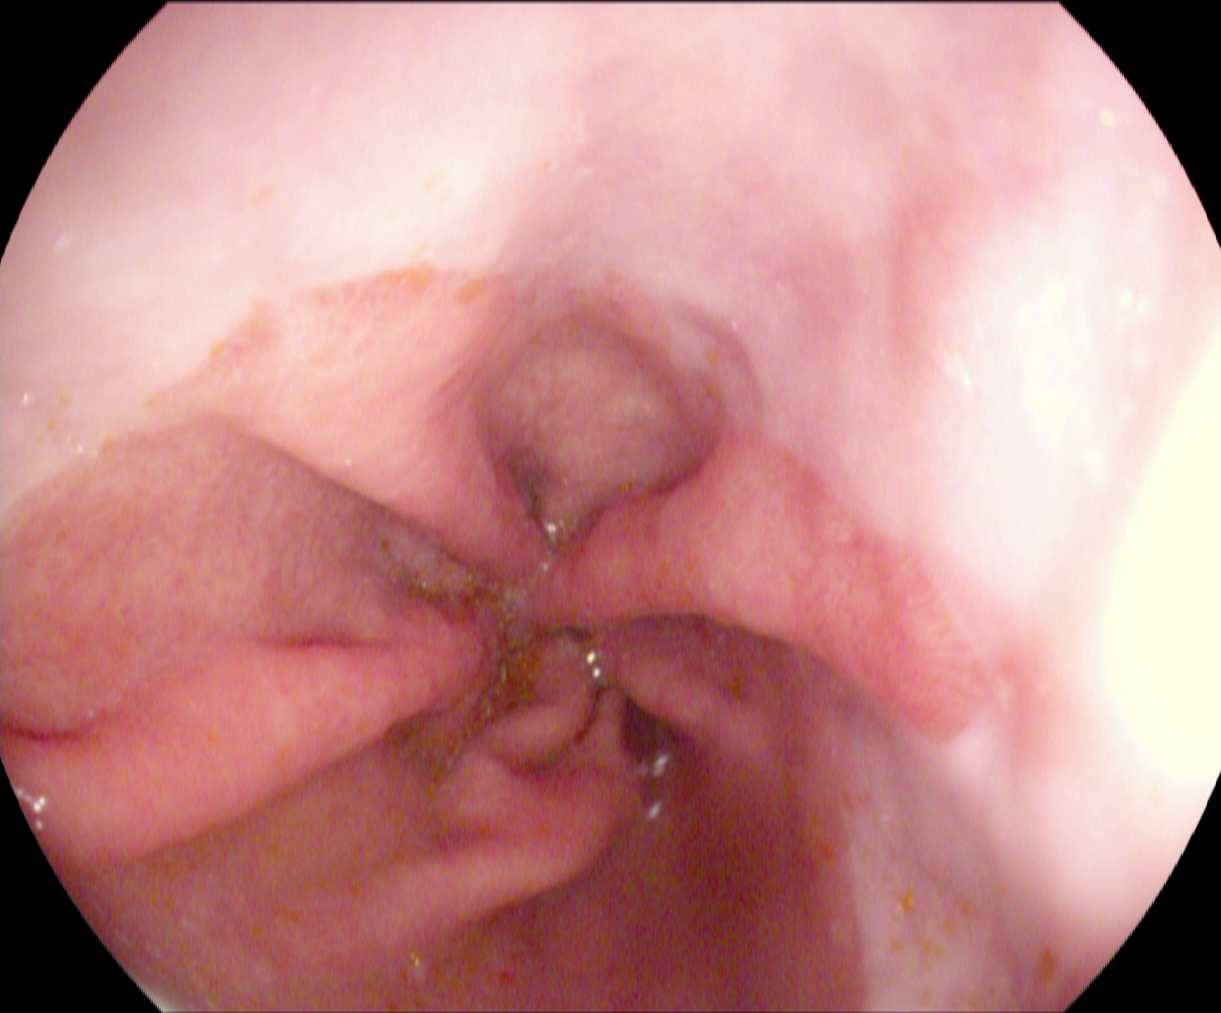reflux esophagitis, Los Angeles grade A.